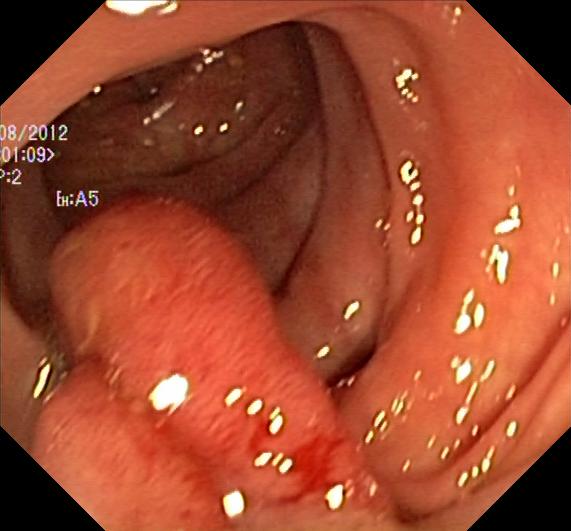modality: lower gastrointestinal endoscopy
category: pathological finding
finding: colorectal polyp(s)